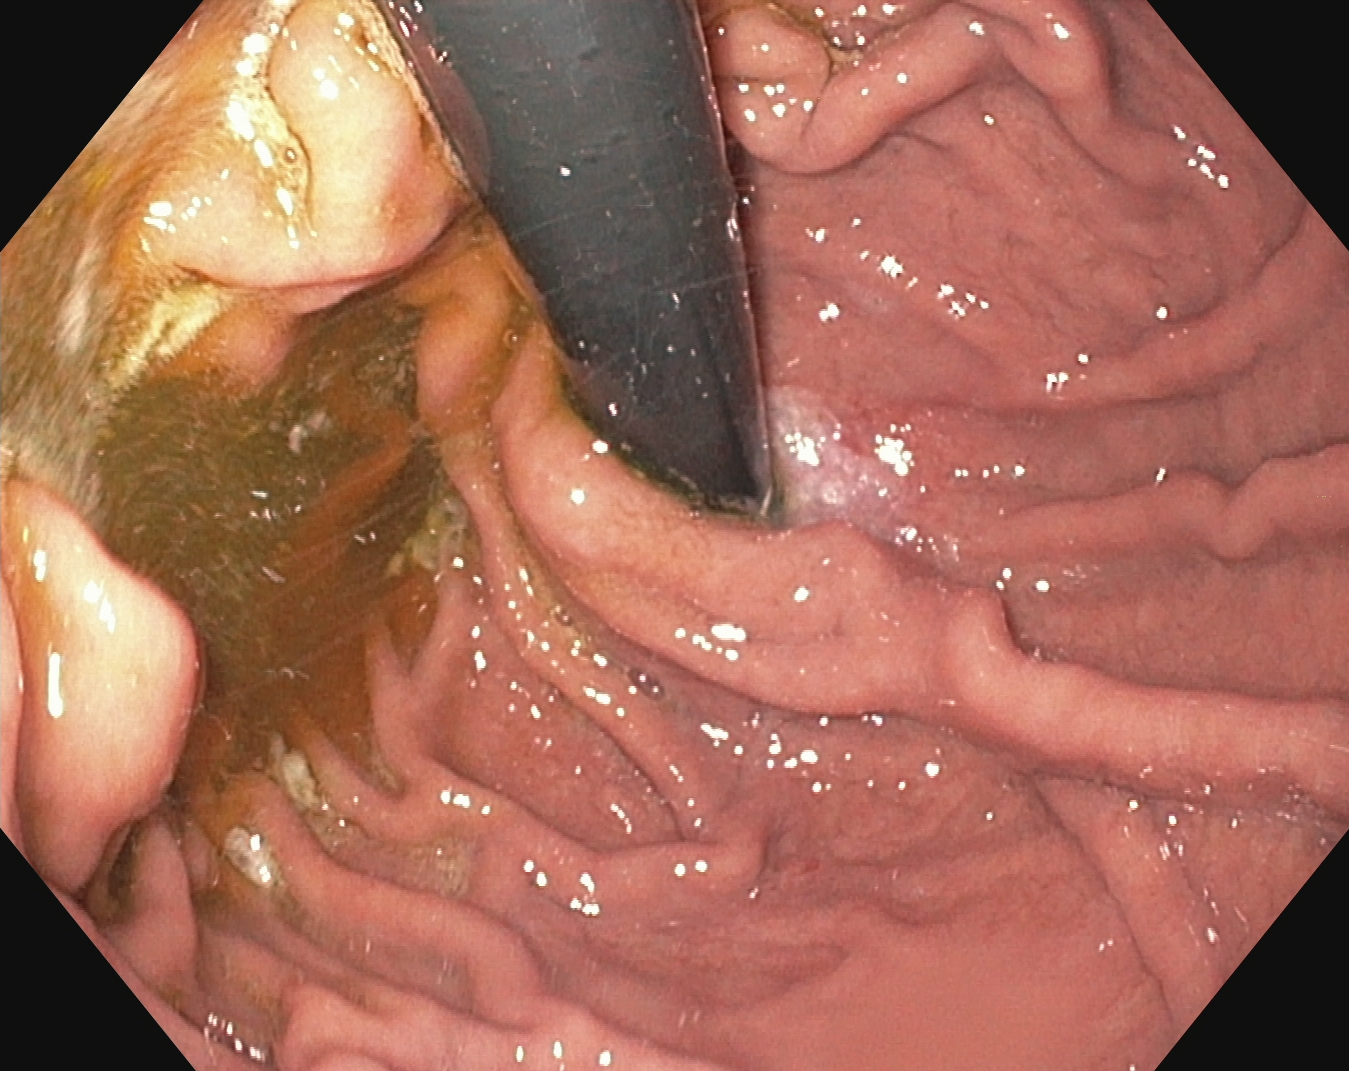Gastrointestinal endoscopy image of the upper GI tract showing stomach in retroflexion.